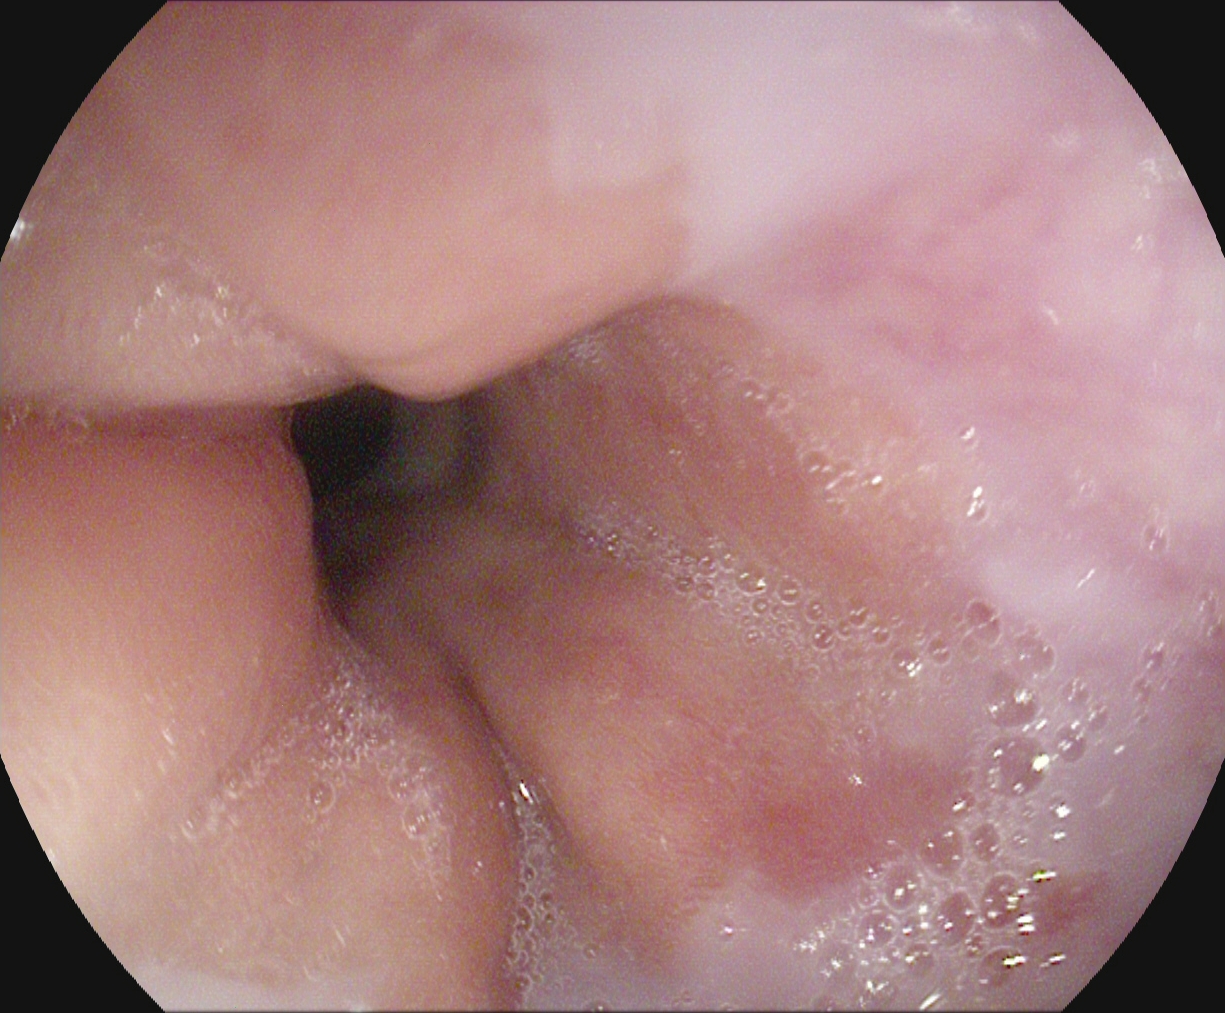Z-line (gastroesophageal junction).